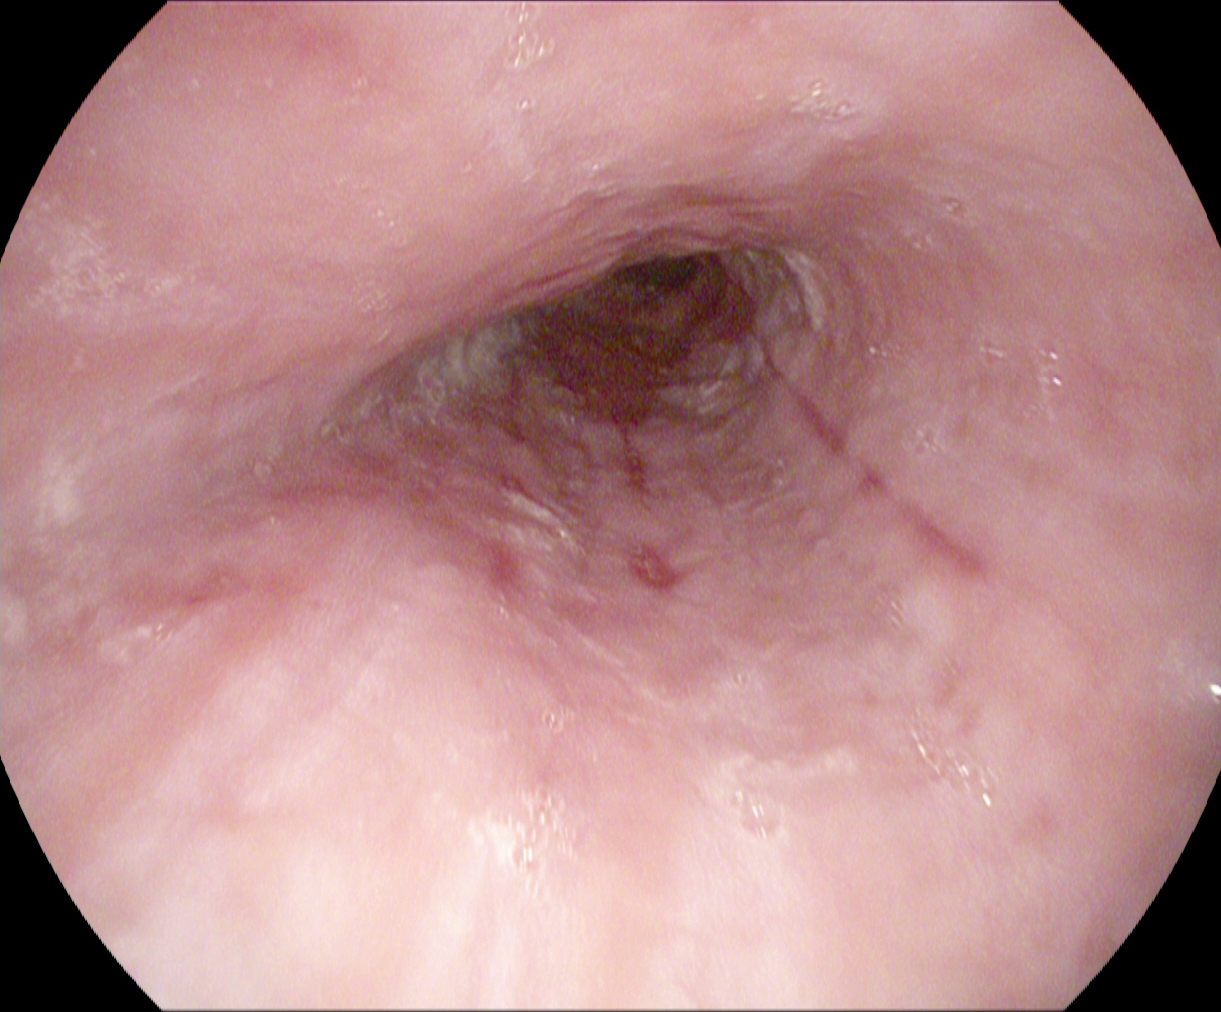EGD. Tract: upper GI tract. Finding: reflux esophagitis, Los Angeles grade B–D.